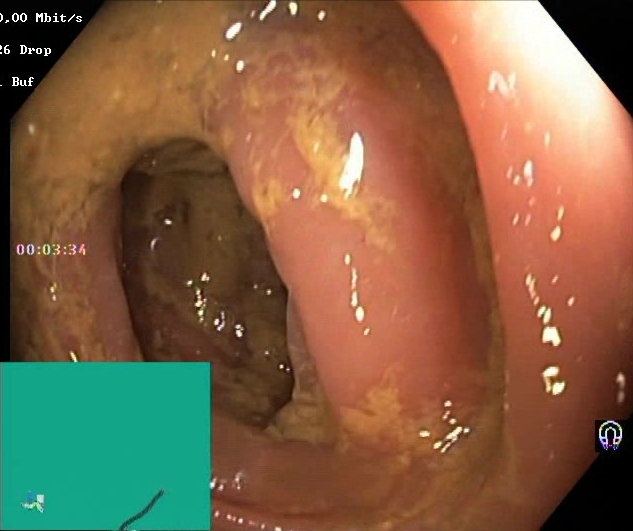{"modality": "lower-GI endoscopy", "category": "mucosal-view quality", "finding": "Boston Bowel Preparation Scale score 0\u20131 (inadequate preparation)"}